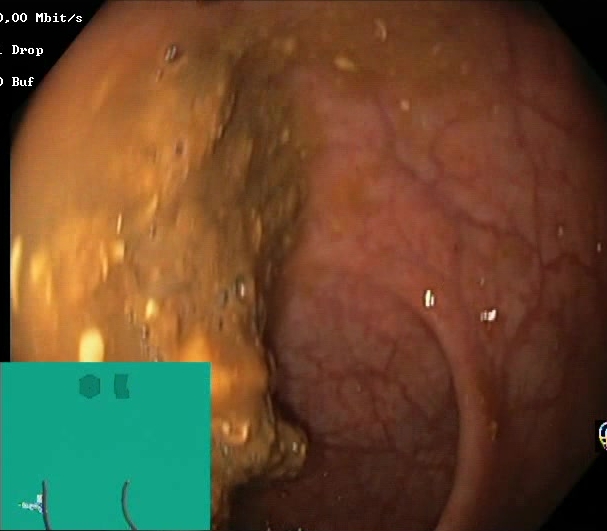Boston Bowel Preparation Scale score 0–1 (inadequate preparation).